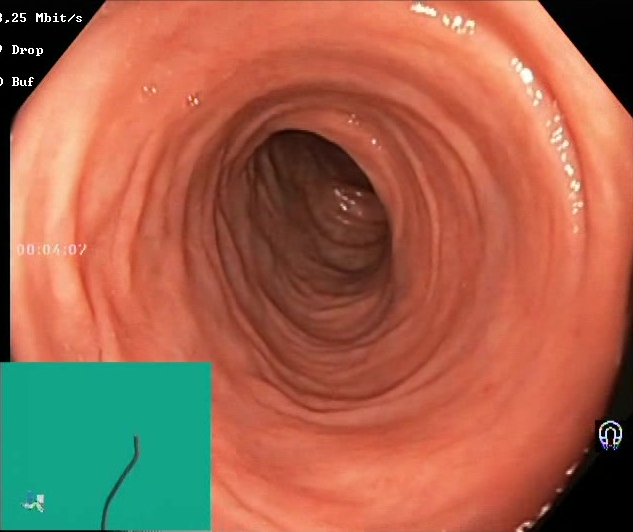Lower-GI endoscopy — Boston Bowel Preparation Scale score 2–3 (adequate preparation).